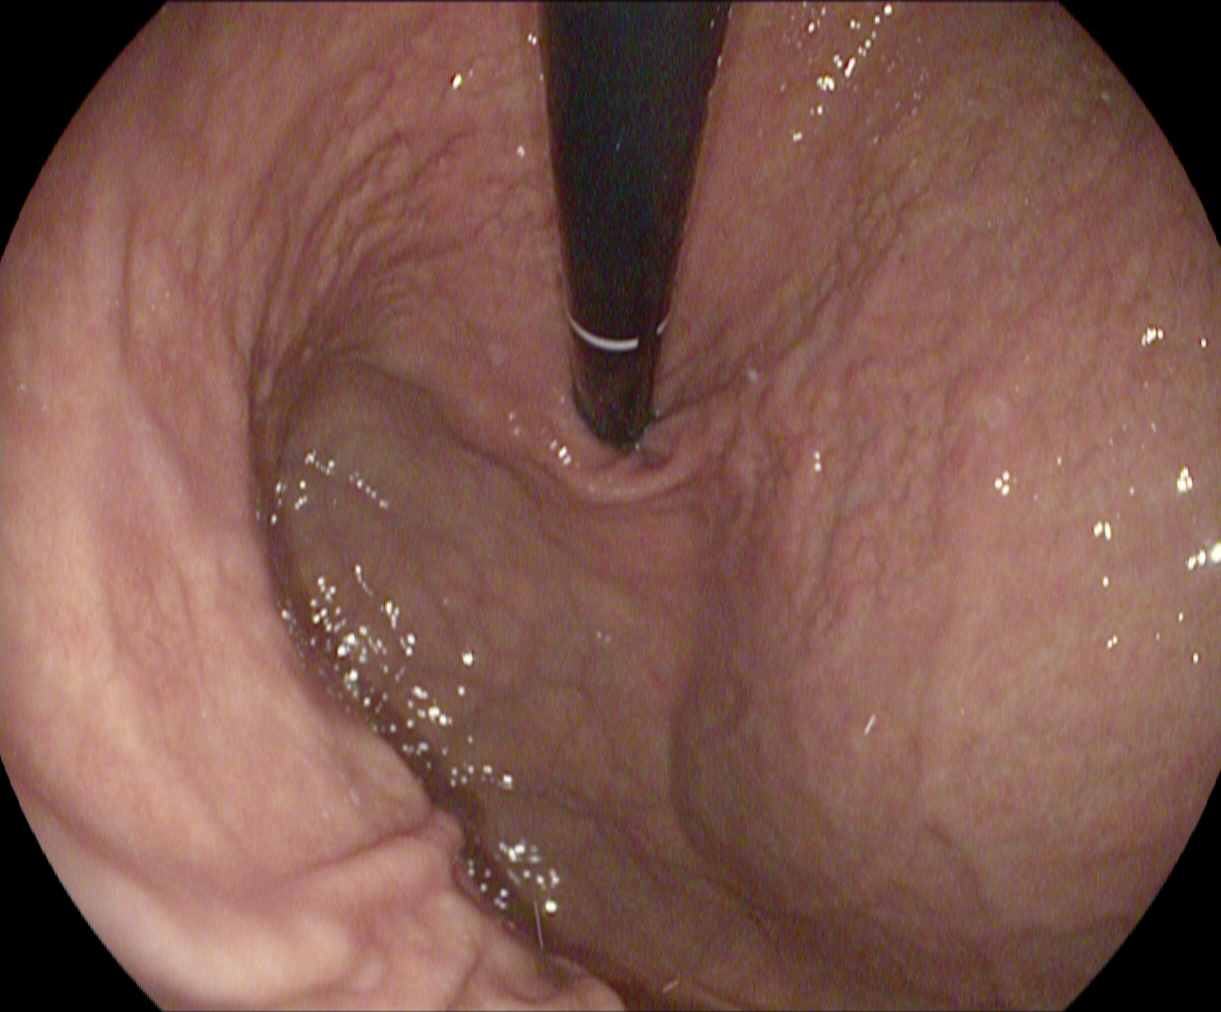This endoscopy frame shows stomach in retroflexion.